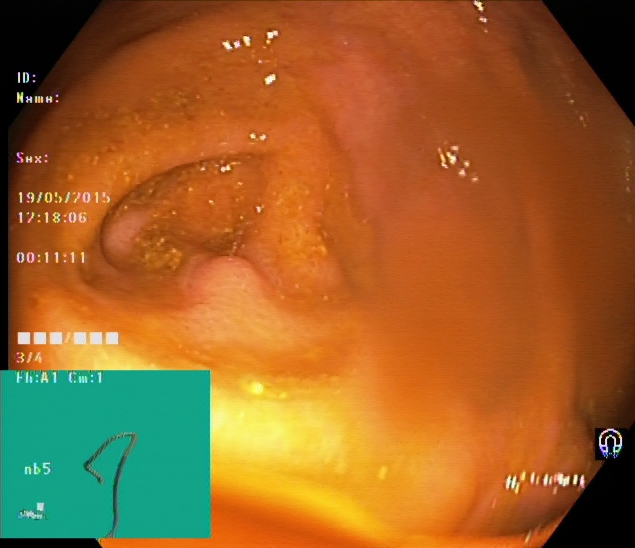Colonoscopy. Tract: lower GI tract. Anatomical landmark. Finding: cecum.